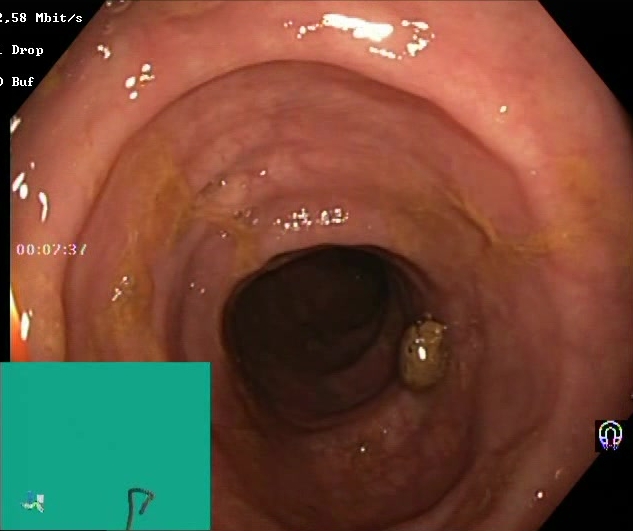Lower gastrointestinal endoscopy — Boston Bowel Preparation Scale score 2–3 (adequate preparation).